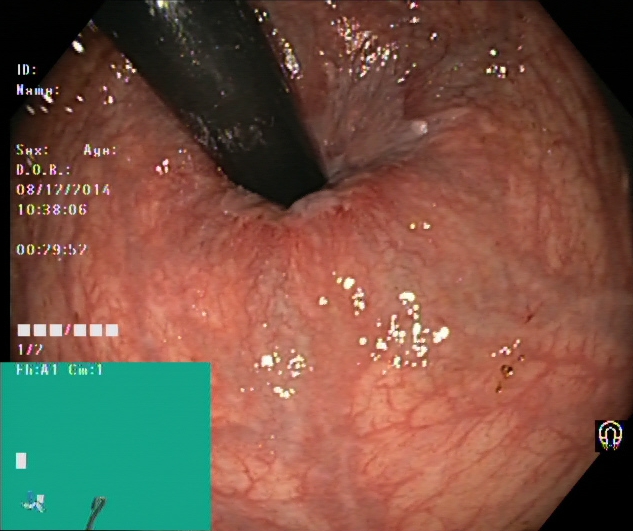{"modality": "colonoscopy", "tract": "lower GI tract", "finding": "rectum in retroflexion"}